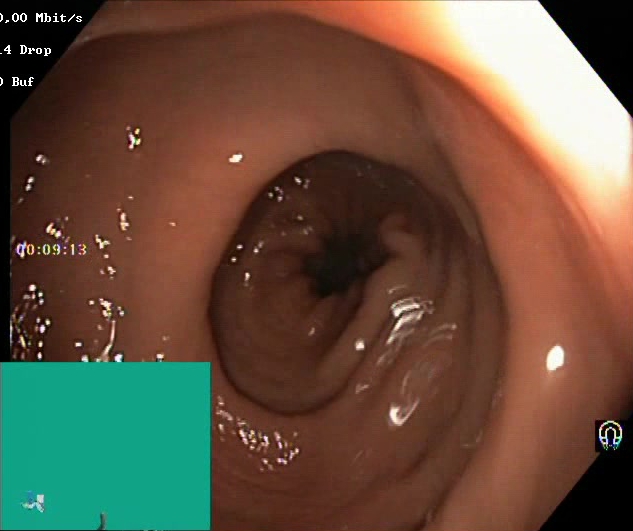PROCEDURE: Lower-GI endoscopy.
FINDINGS: Boston Bowel Preparation Scale score 2–3 (adequate preparation).